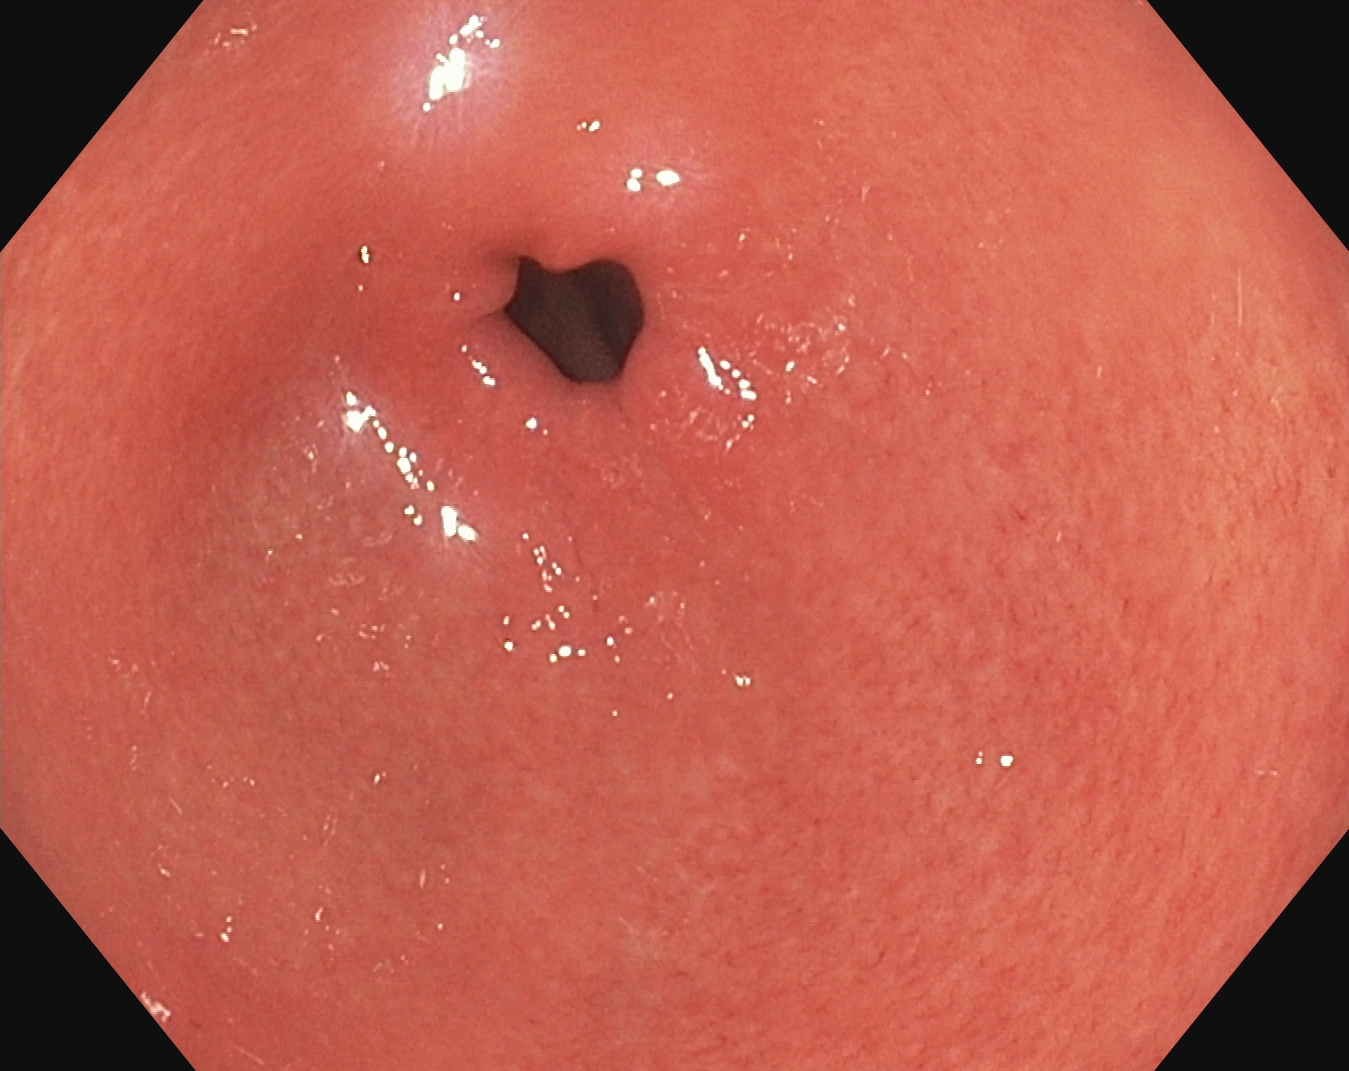{"modality": "EGD", "tract": "upper GI tract", "finding": "pylorus"}